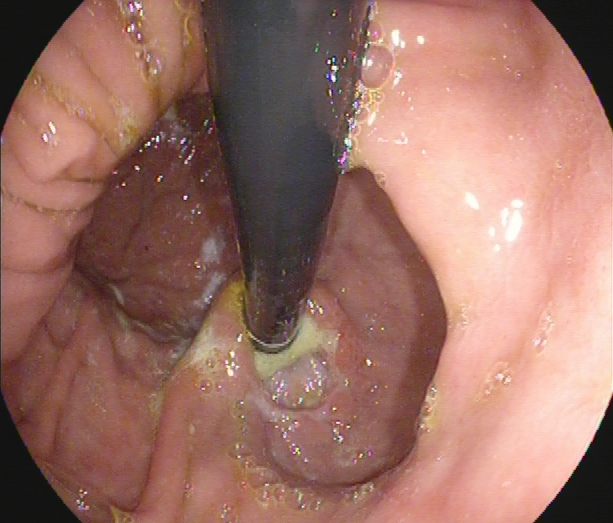Gastroscopy. Finding: stomach in retroflexion.